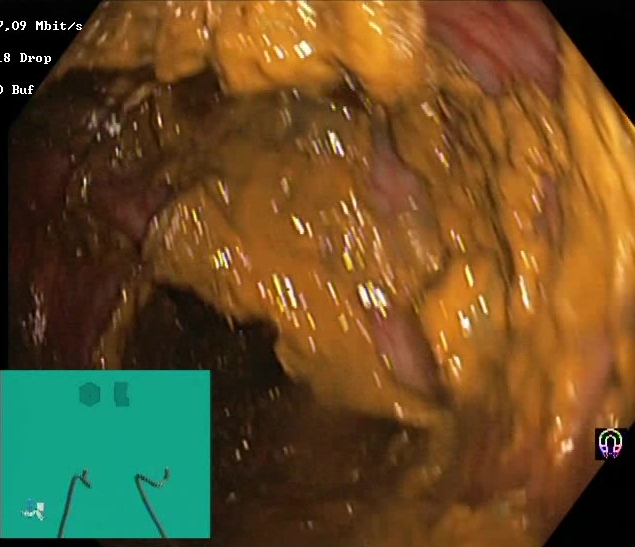This endoscopy frame of the lower GI tract shows Boston Bowel Preparation Scale score 0–1 (inadequate preparation).